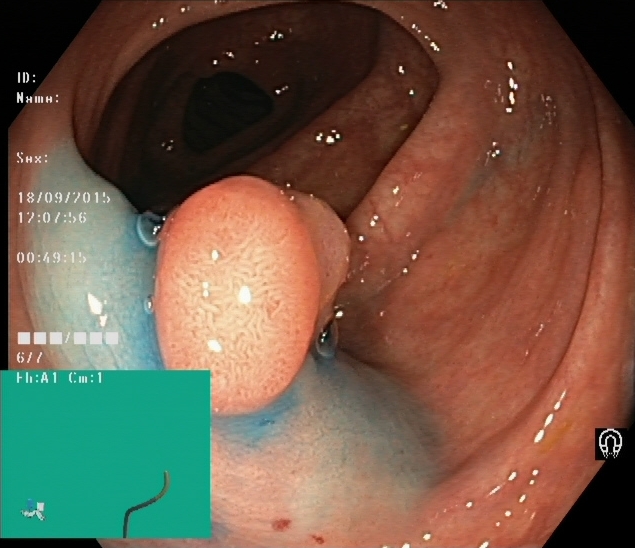Endoscopic frame of the lower GI tract showing dyed and lifted polyp (pre-resection).